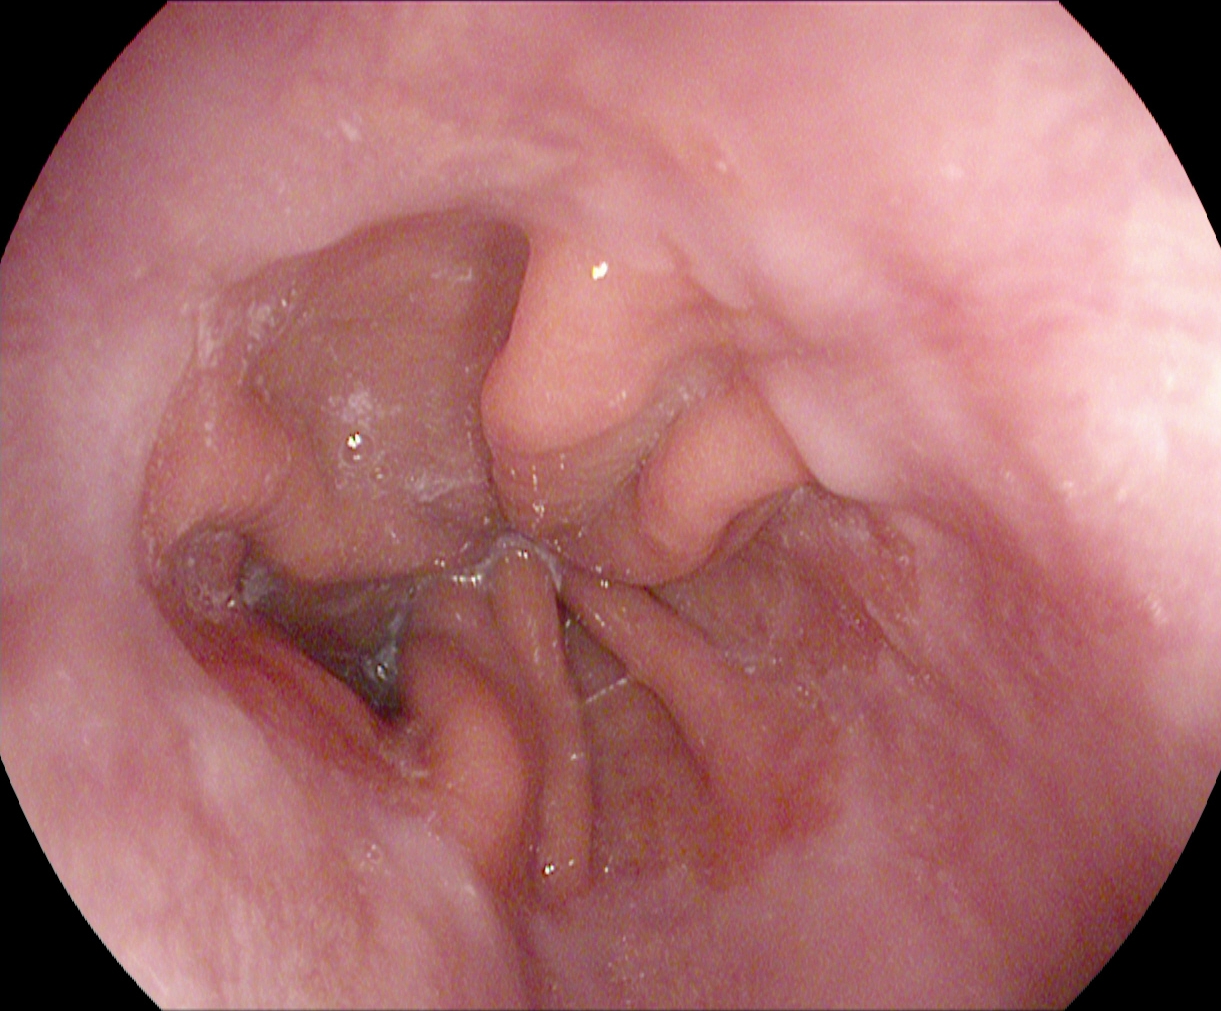PROCEDURE: EGD.
CATEGORY: Anatomical landmark.
FINDINGS: Z-line (gastroesophageal junction).